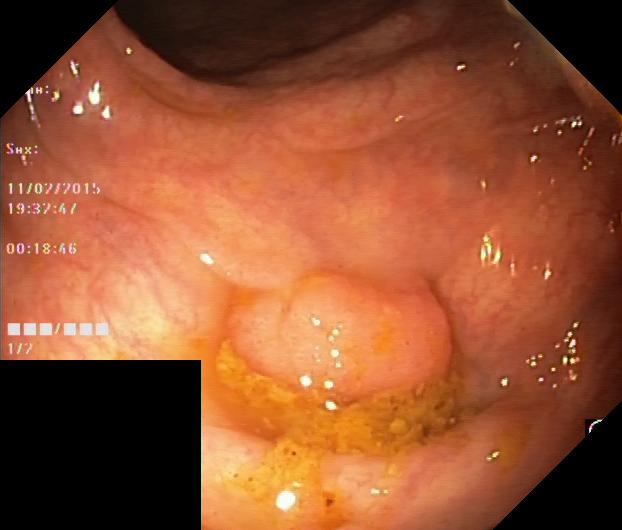modality: colonoscopy; finding: colorectal polyp(s)